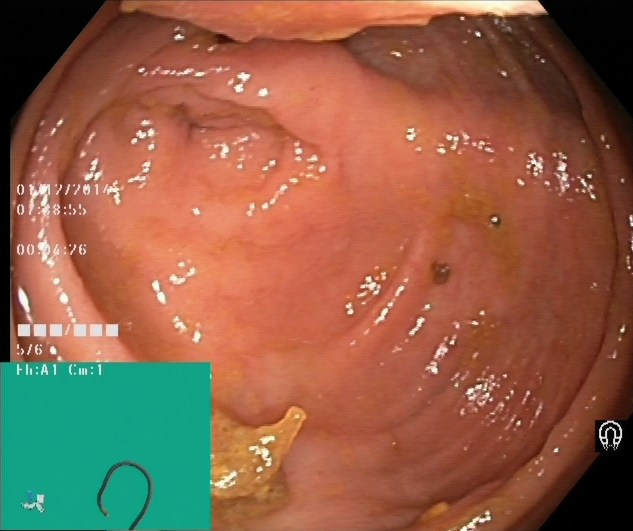PROCEDURE: Colonoscopy.
CATEGORY: Anatomical landmark.
FINDINGS: Cecum.